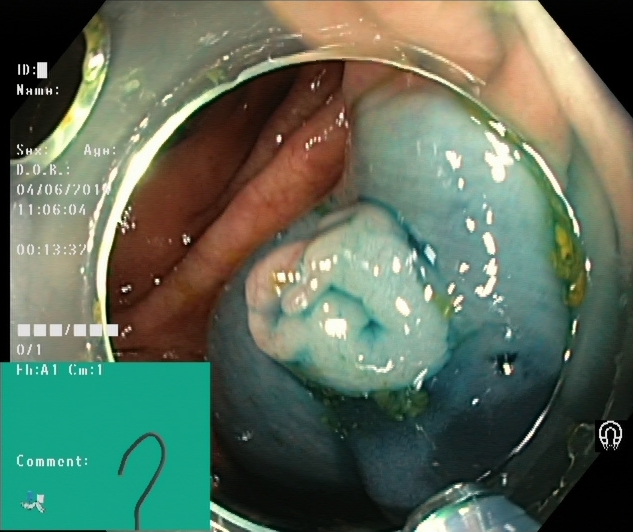Gastrointestinal endoscopy image of the lower GI tract showing dyed and lifted polyp (pre-resection).